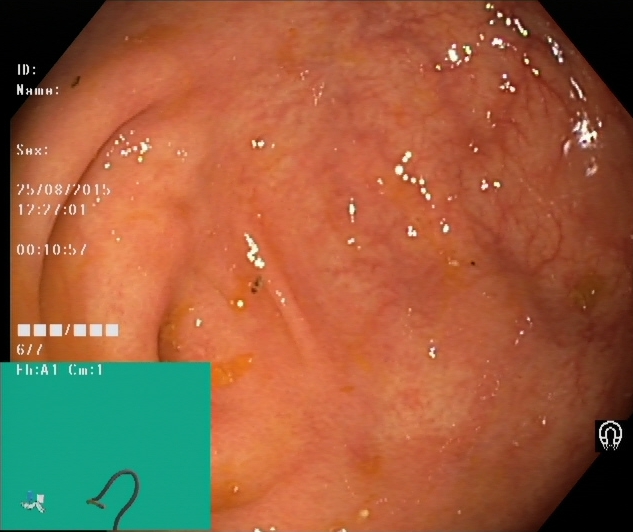modality: lower gastrointestinal endoscopy | finding: cecum